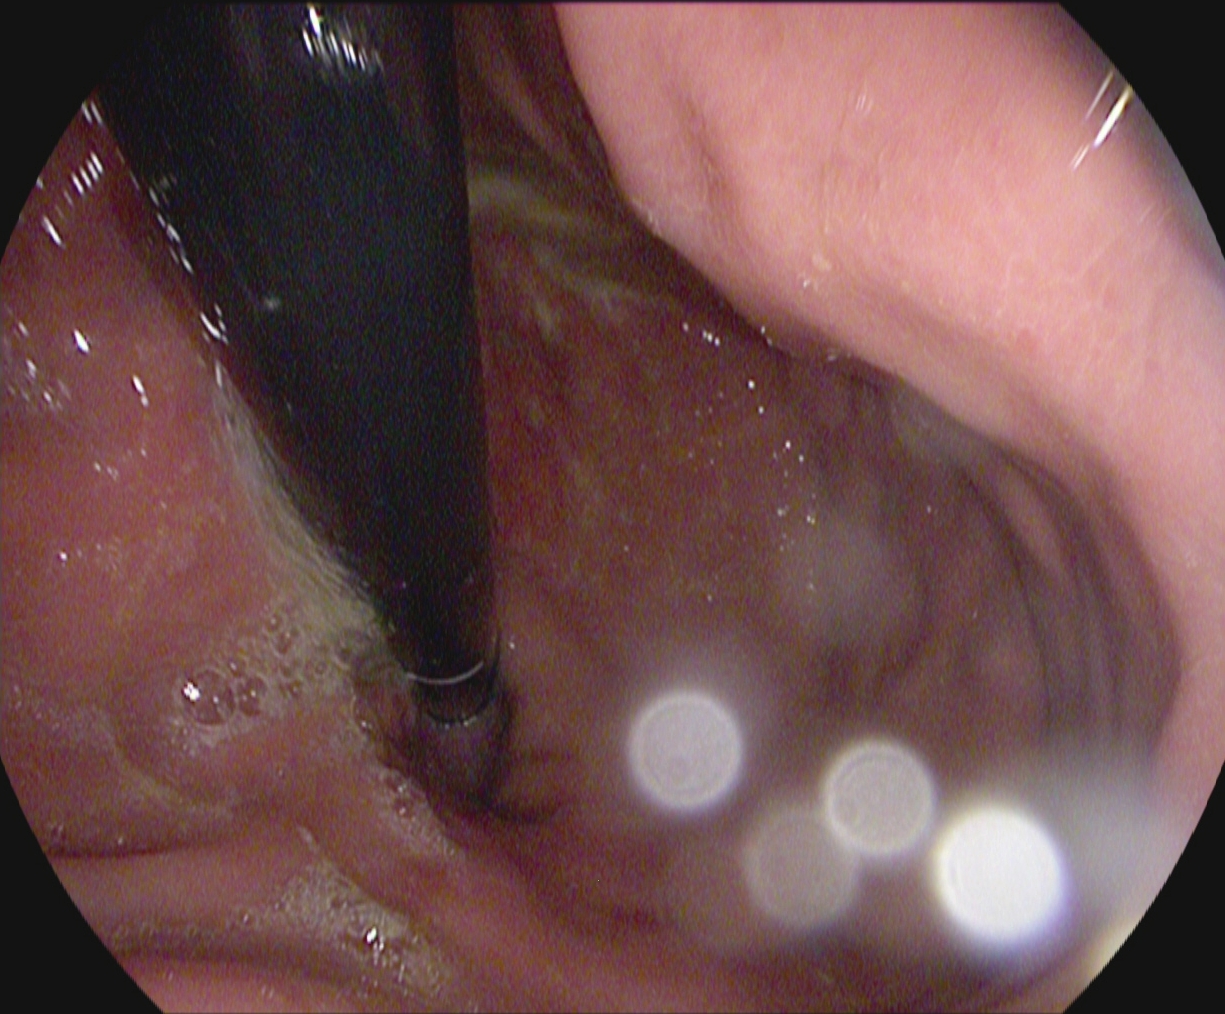{"modality": "esophagogastroduodenoscopy", "tract": "upper GI tract", "finding": "stomach in retroflexion"}